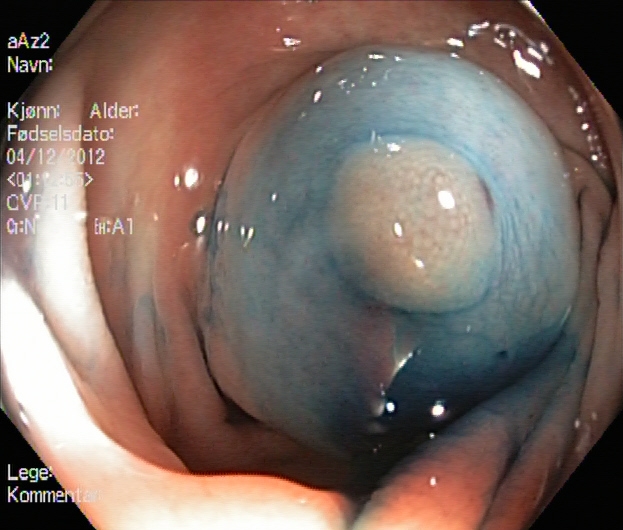Lower gastrointestinal endoscopy. Therapeutic intervention. Finding: dyed and lifted polyp (pre-resection).